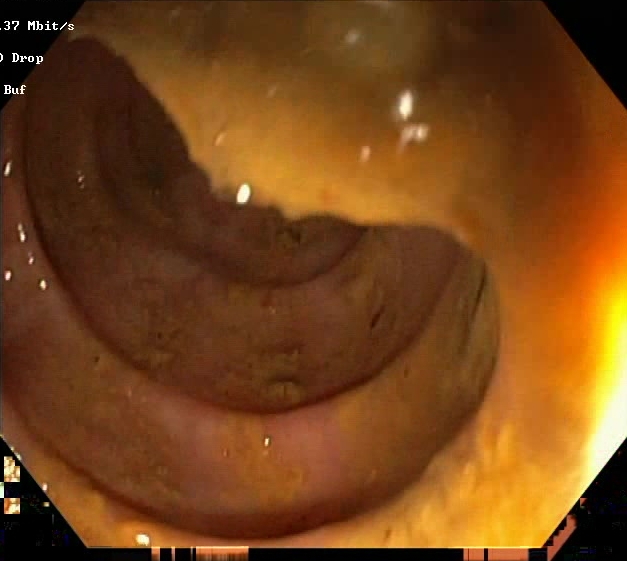Lower-GI endoscopy — Boston Bowel Preparation Scale score 0–1 (inadequate preparation).